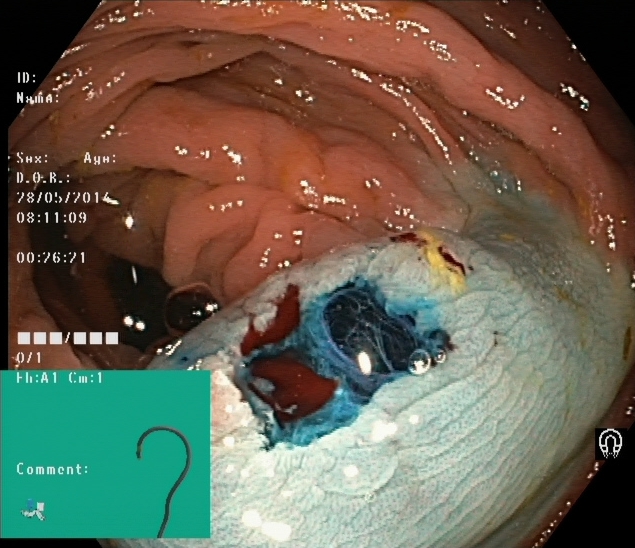Lower-GI endoscopy — dyed resection margins (post-polypectomy).